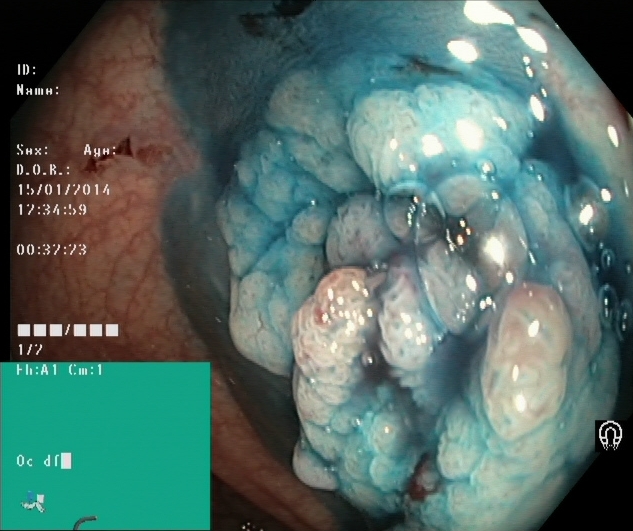Dyed and lifted polyp (pre-resection).